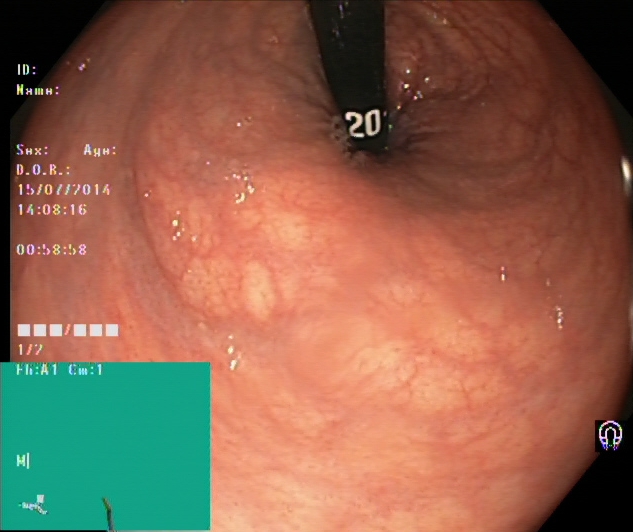GI endoscopy image showing rectum in retroflexion.